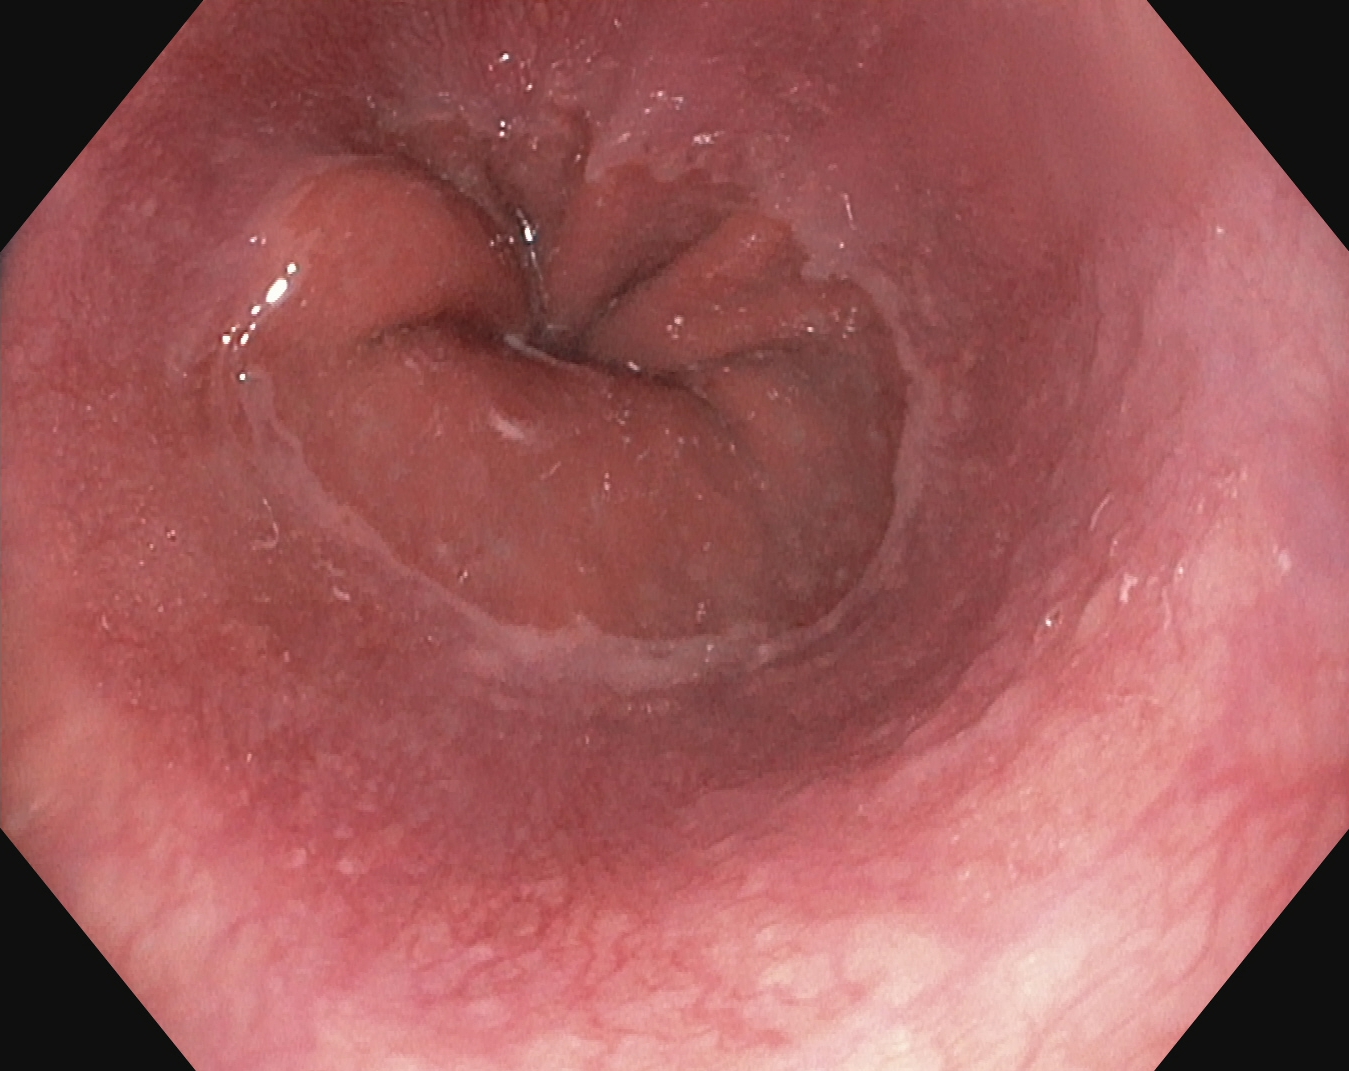PROCEDURE: Esophagogastroduodenoscopy.
FINDINGS: Z-line (gastroesophageal junction).